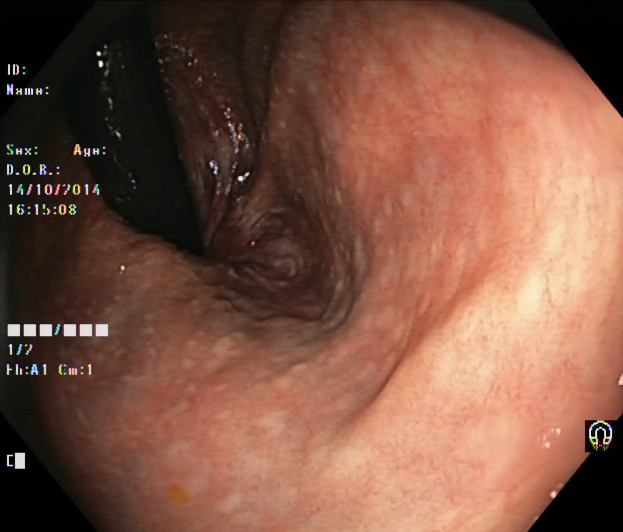modality: lower-GI endoscopy; tract: lower GI tract; finding: rectum in retroflexion